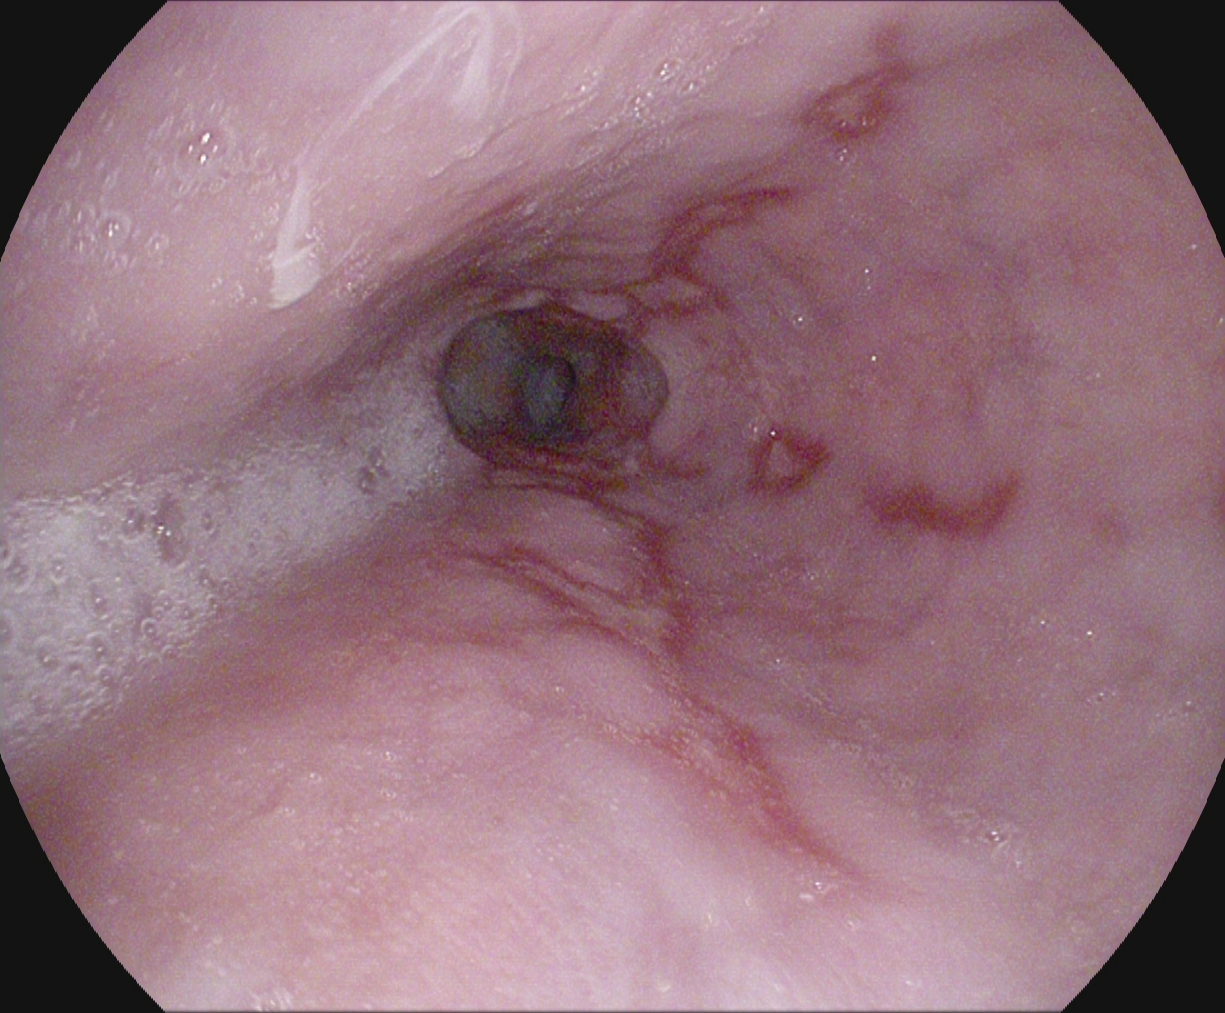PROCEDURE: Upper-GI endoscopy.
FINDINGS: Reflux esophagitis, Los Angeles grade B–D.